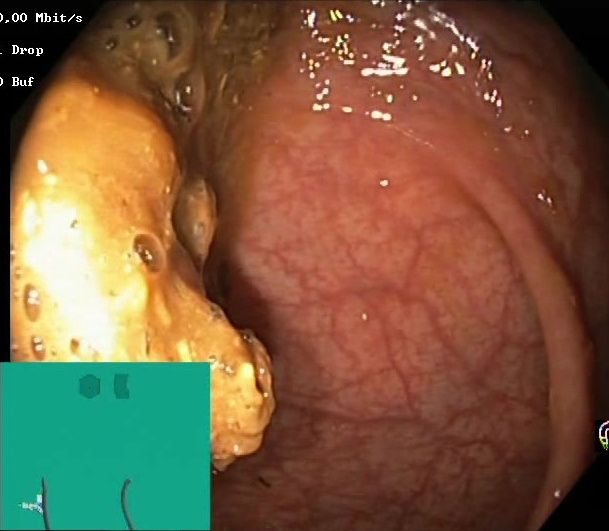{"modality": "colonoscopy", "tract": "lower GI tract", "category": "mucosal-view quality", "finding": "BBPS score 0\u20131 (inadequate preparation)"}